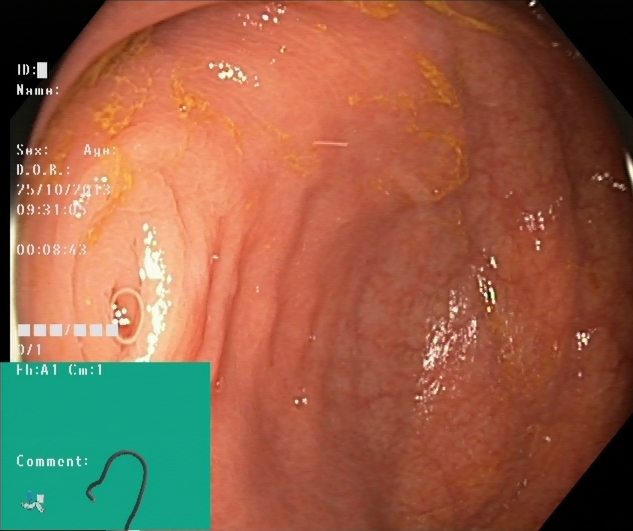{"modality": "colonoscopy", "tract": "lower GI tract", "finding": "cecum"}